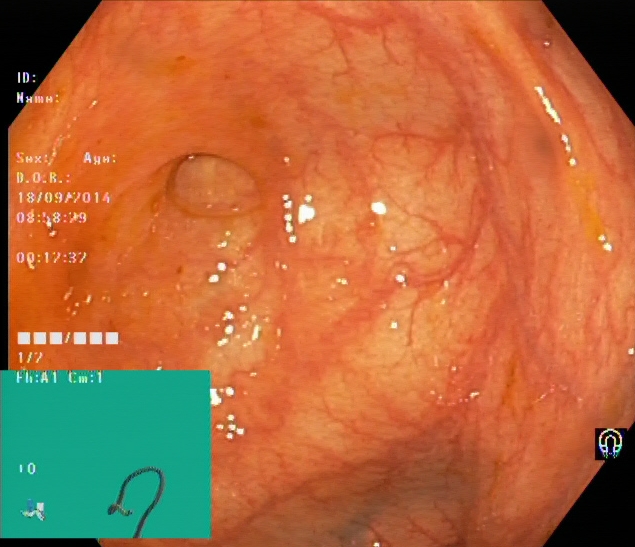Colonoscopy image showing cecum.